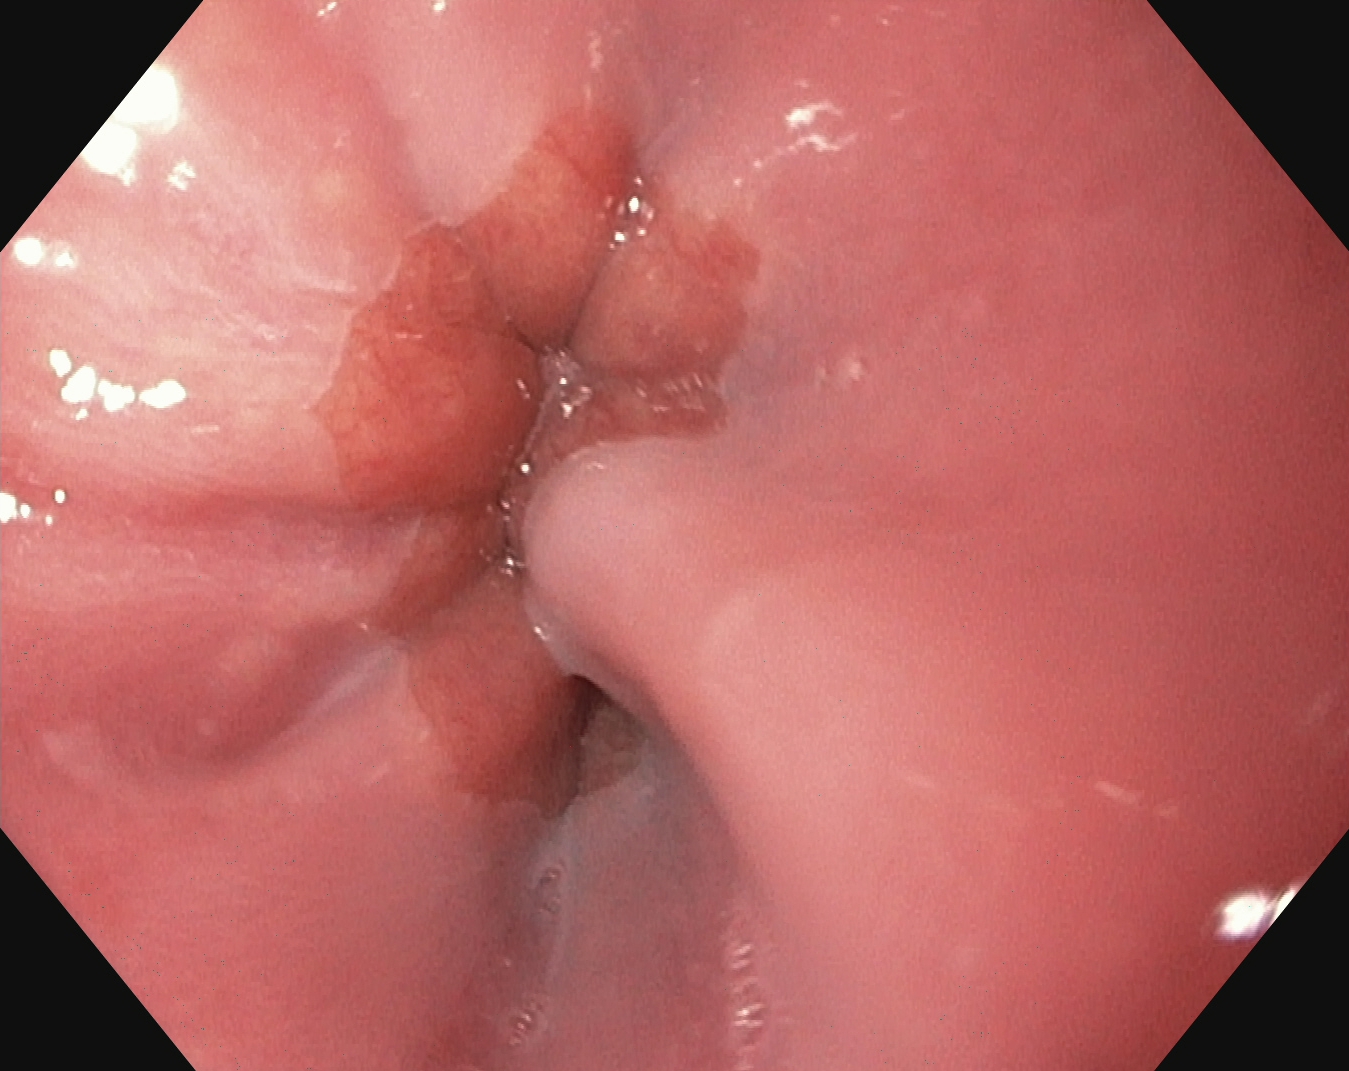modality: gastroscopy; category: anatomical landmark; finding: Z-line (gastroesophageal junction)